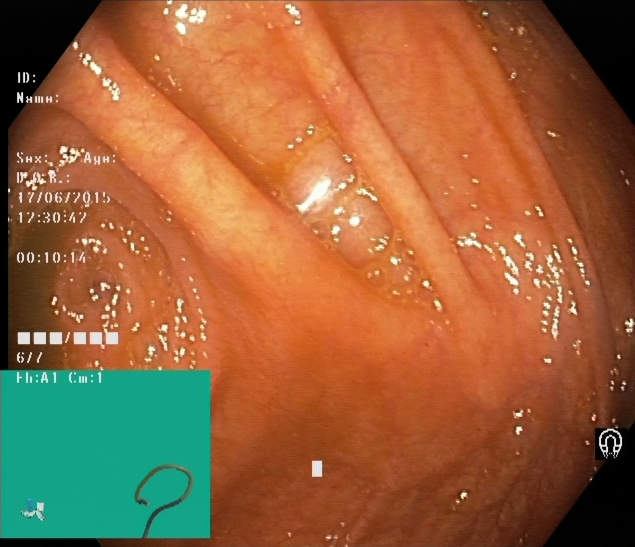This endoscopy frame shows cecum.